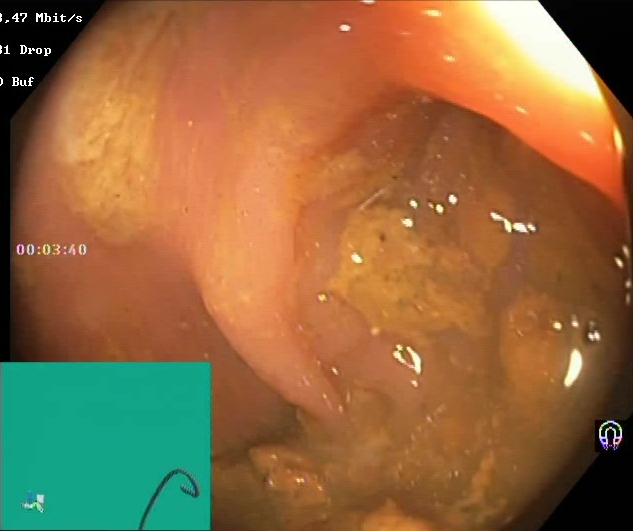{"modality": "lower-GI endoscopy", "finding": "Boston Bowel Preparation Scale score 0\u20131 (inadequate preparation)"}